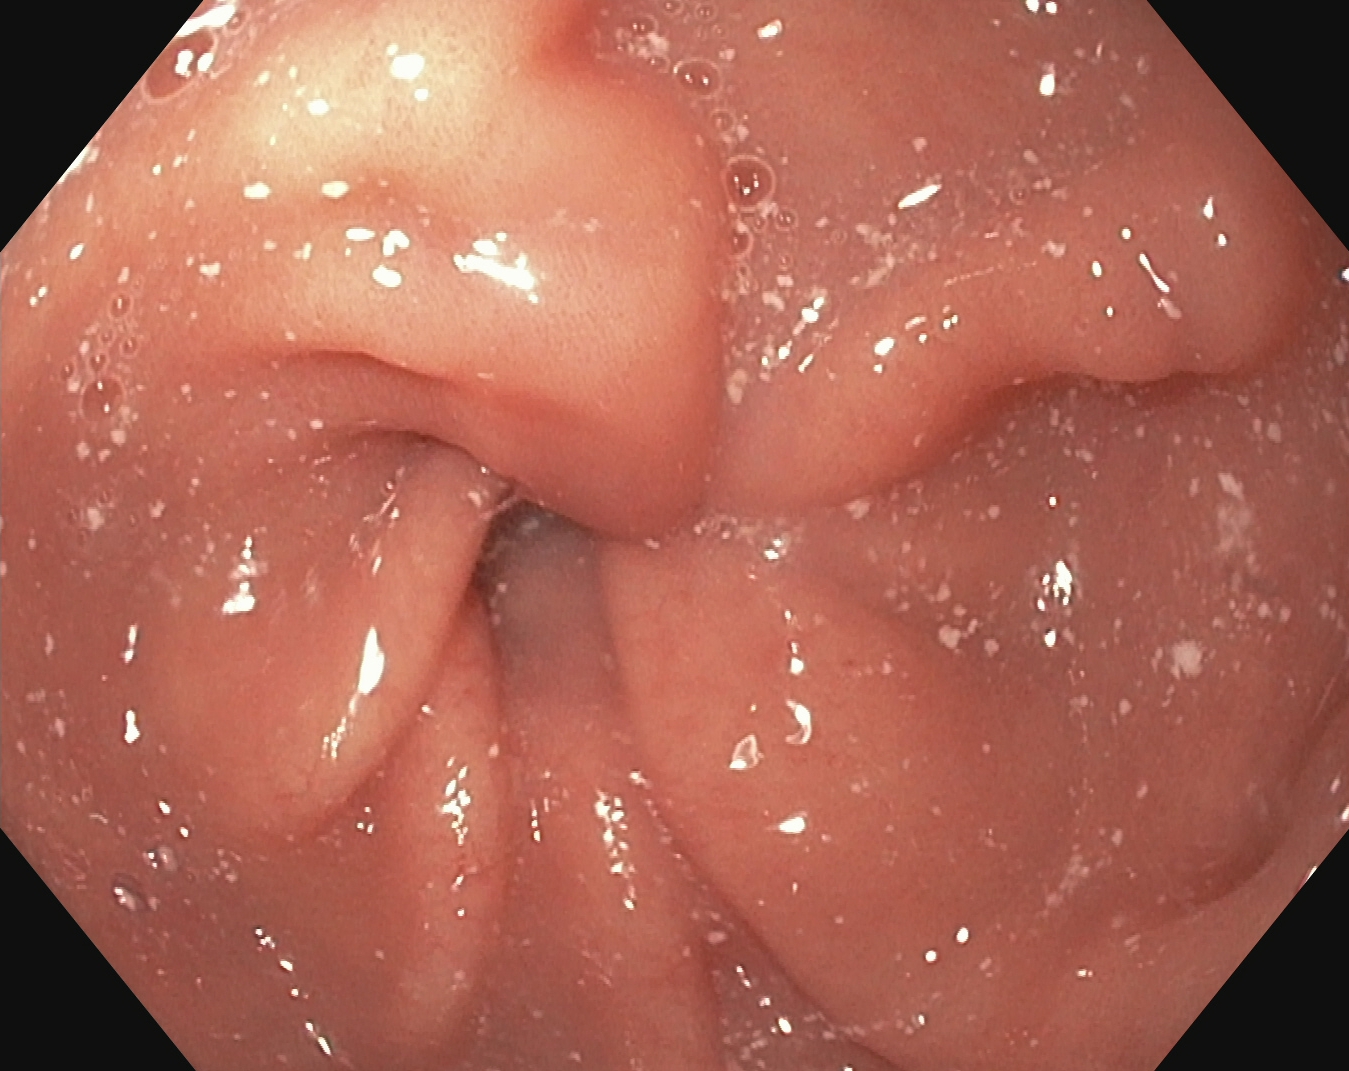Gastroscopy. Tract: upper GI tract. Finding: pylorus.